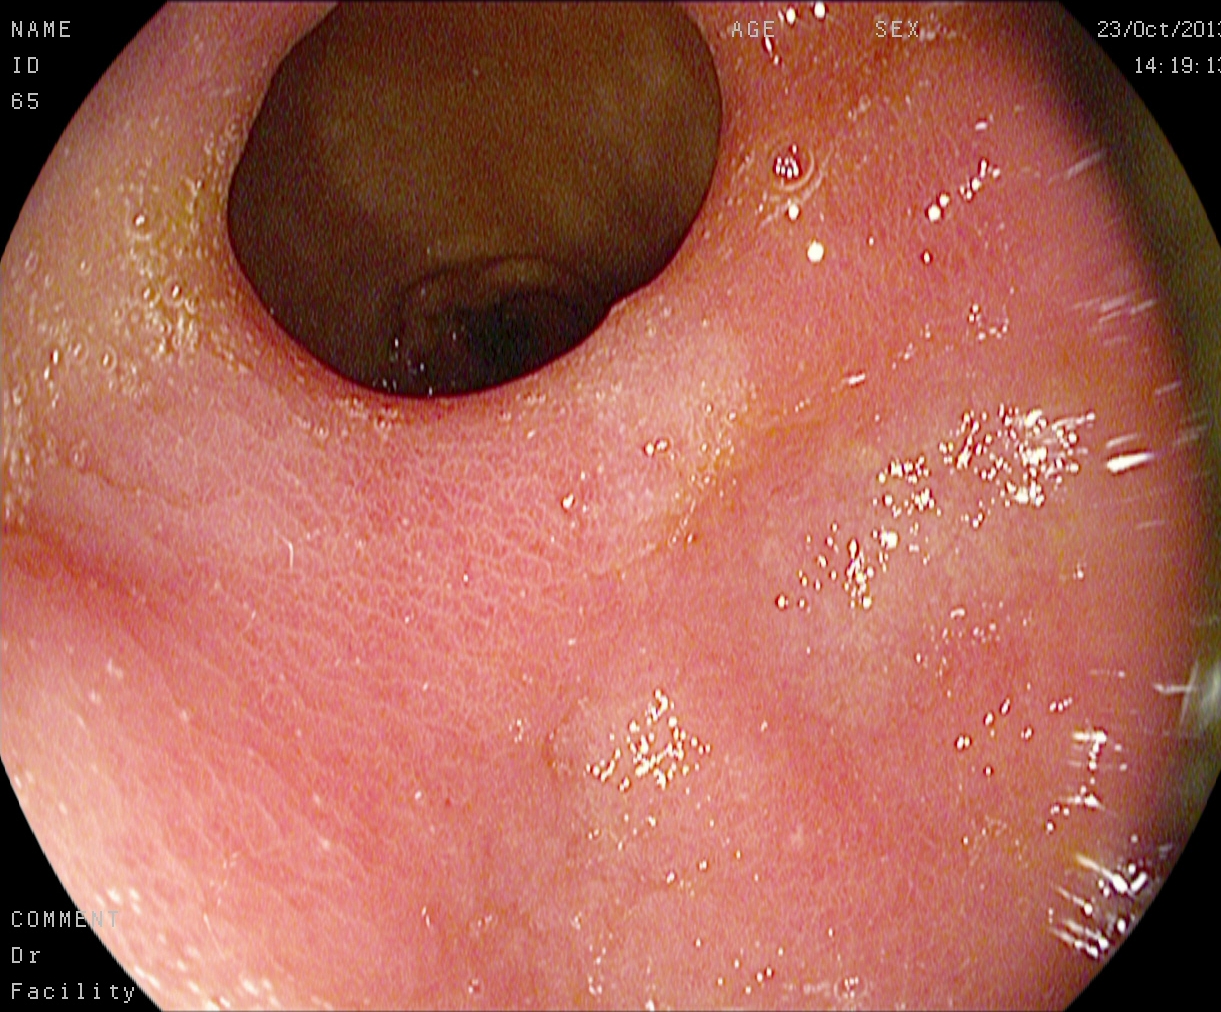Gastrointestinal endoscopy image showing pylorus.